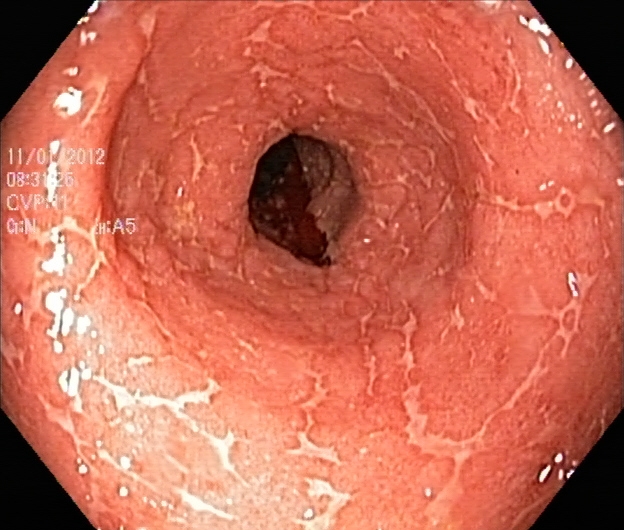Lower gastrointestinal endoscopy — UC, Mayo endoscopic subscore 1.